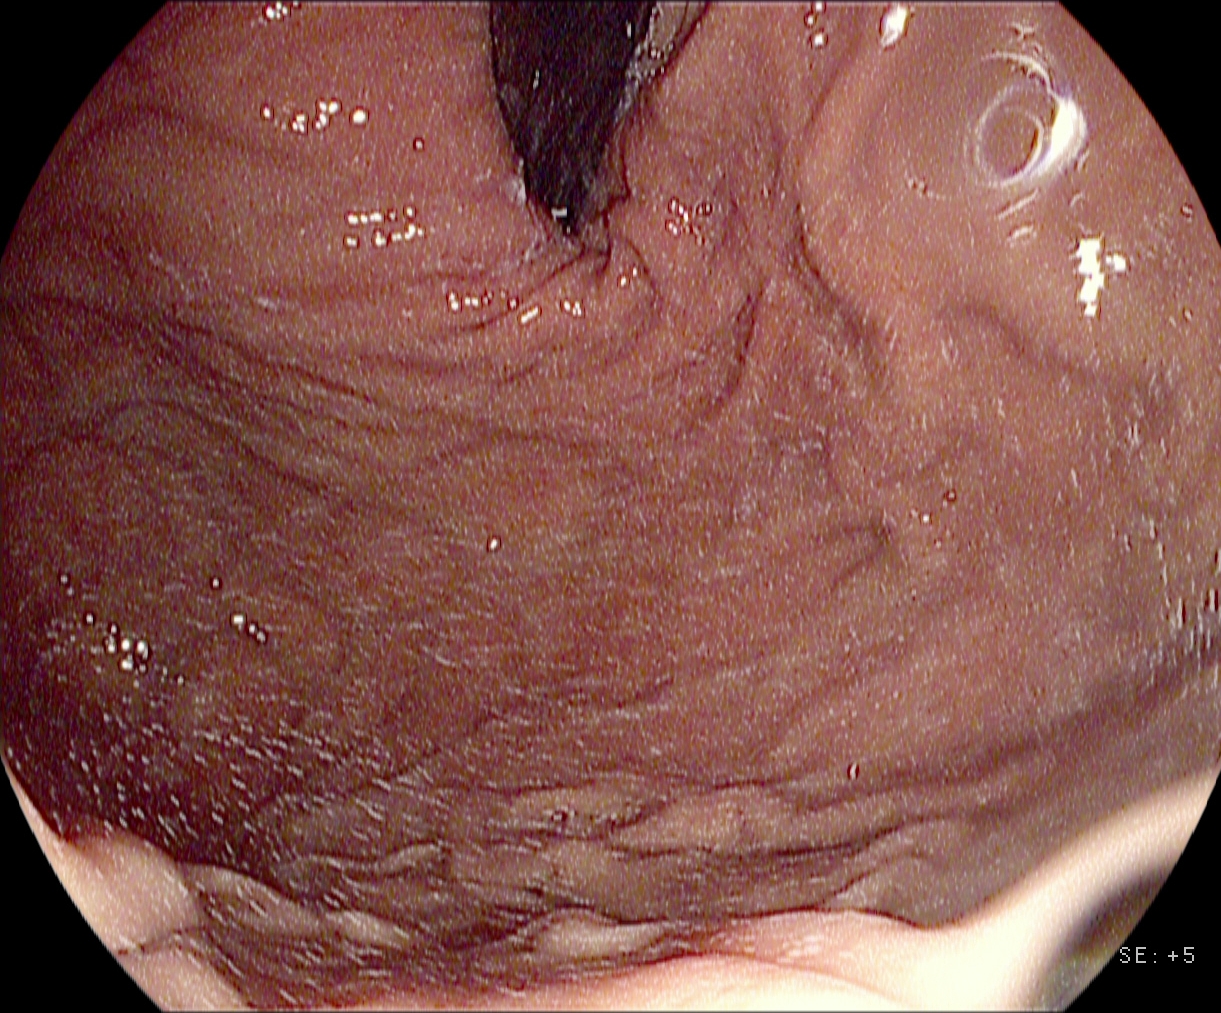PROCEDURE: Upper-GI endoscopy.
FINDINGS: Stomach in retroflexion.